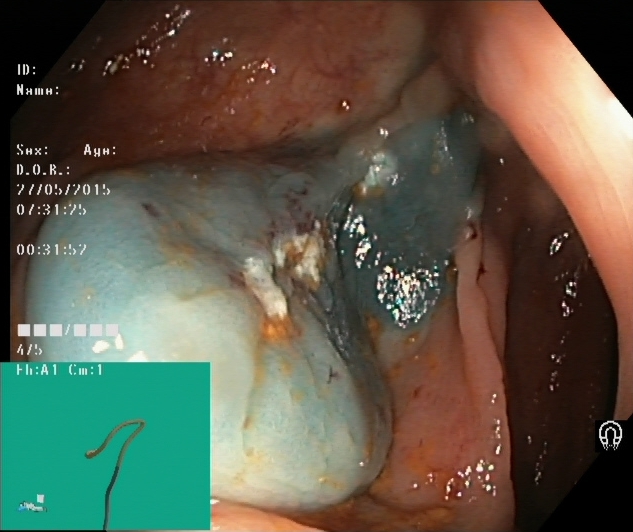{"modality": "colonoscopy", "tract": "lower GI tract", "finding": "dyed resection margins (post-polypectomy)"}